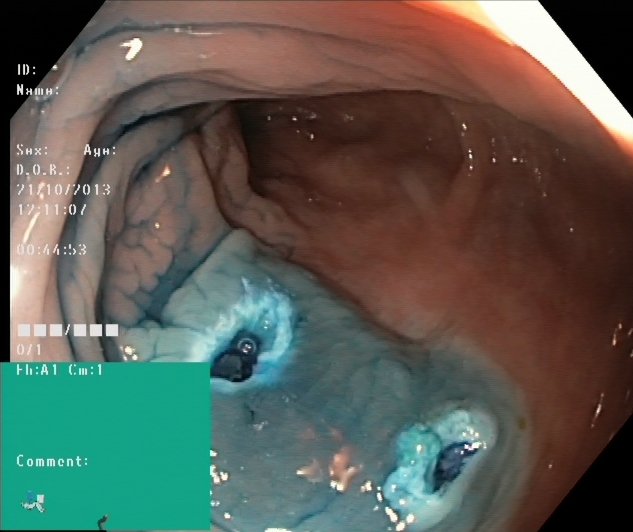Dyed resection margins (post-polypectomy).